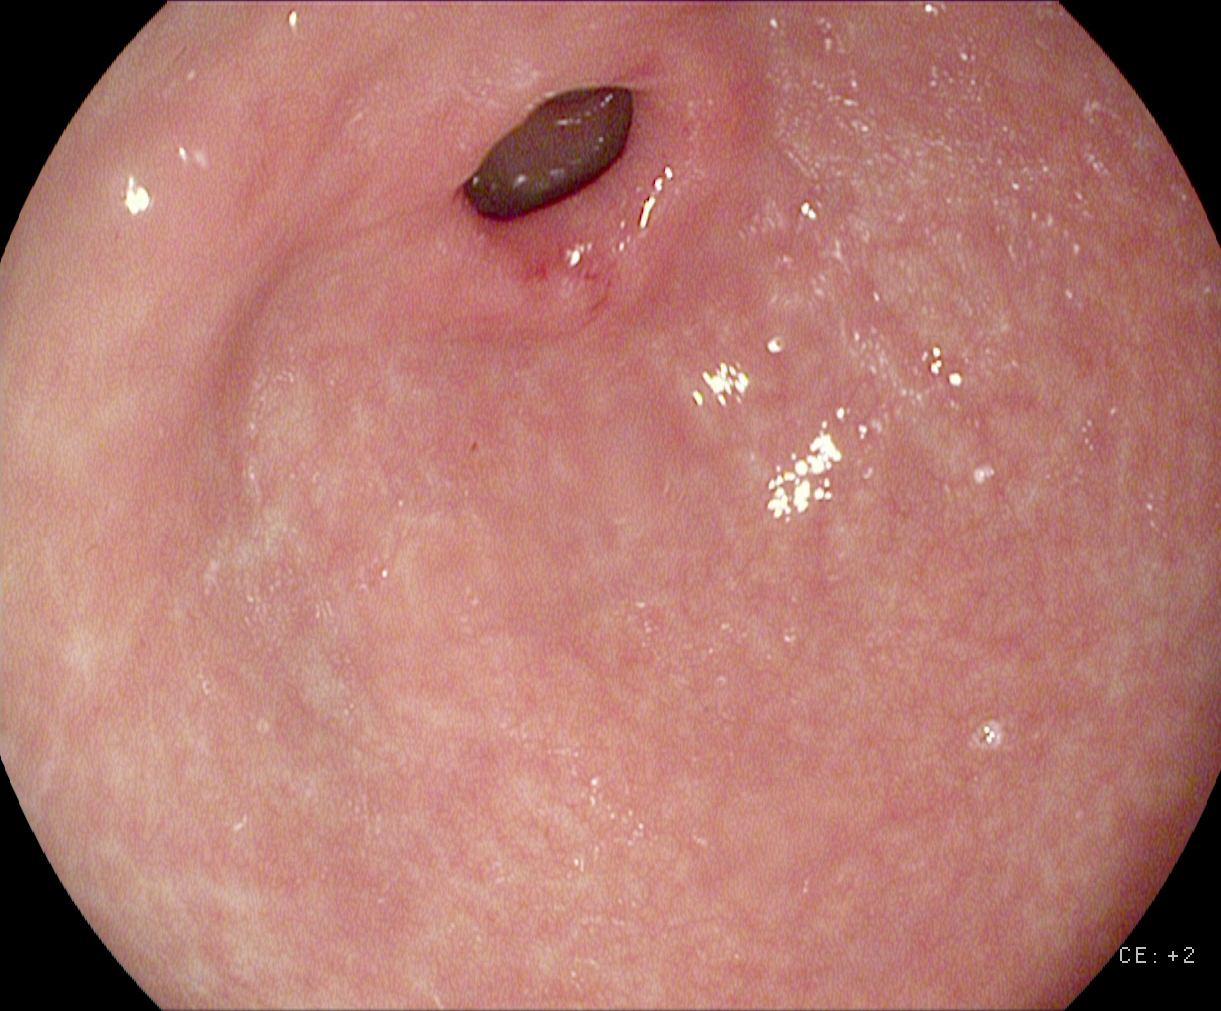Endoscopy image showing pylorus.